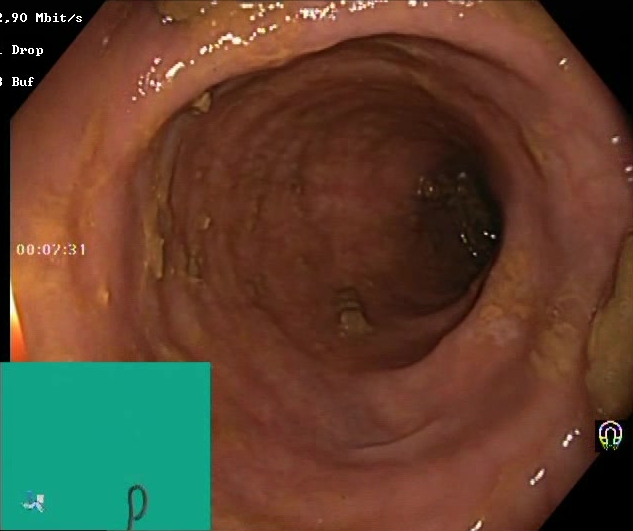modality: colonoscopy
tract: lower GI tract
category: mucosal-view quality
finding: Boston Bowel Preparation Scale score 2–3 (adequate preparation)